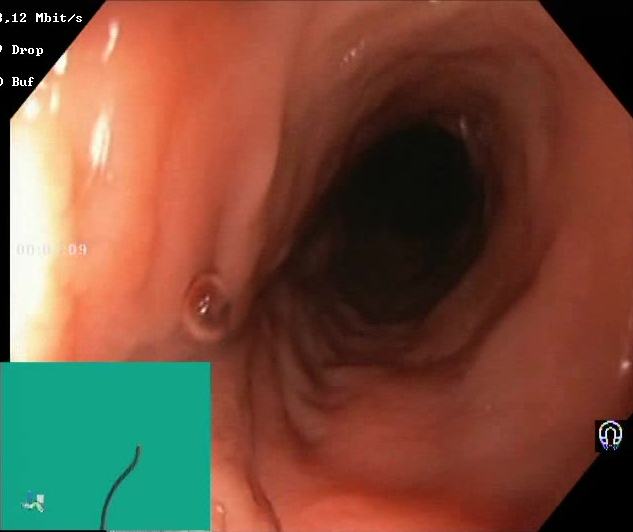modality: lower gastrointestinal endoscopy | tract: lower GI tract | finding: BBPS score 2–3 (adequate preparation)